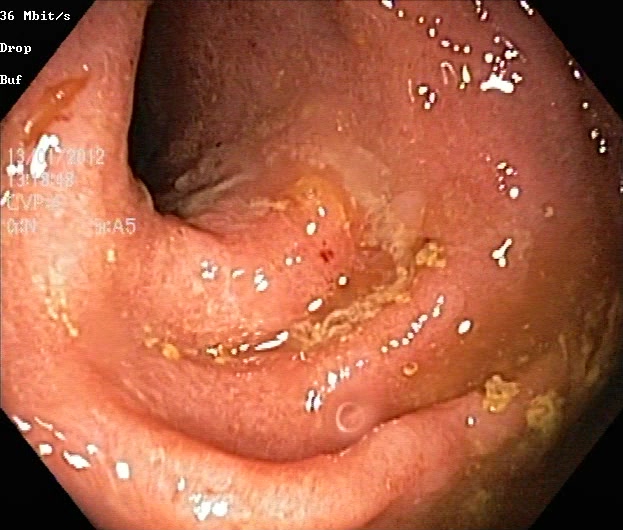modality: lower-GI endoscopy; tract: lower GI tract; finding: UC, Mayo endoscopic subscore 2